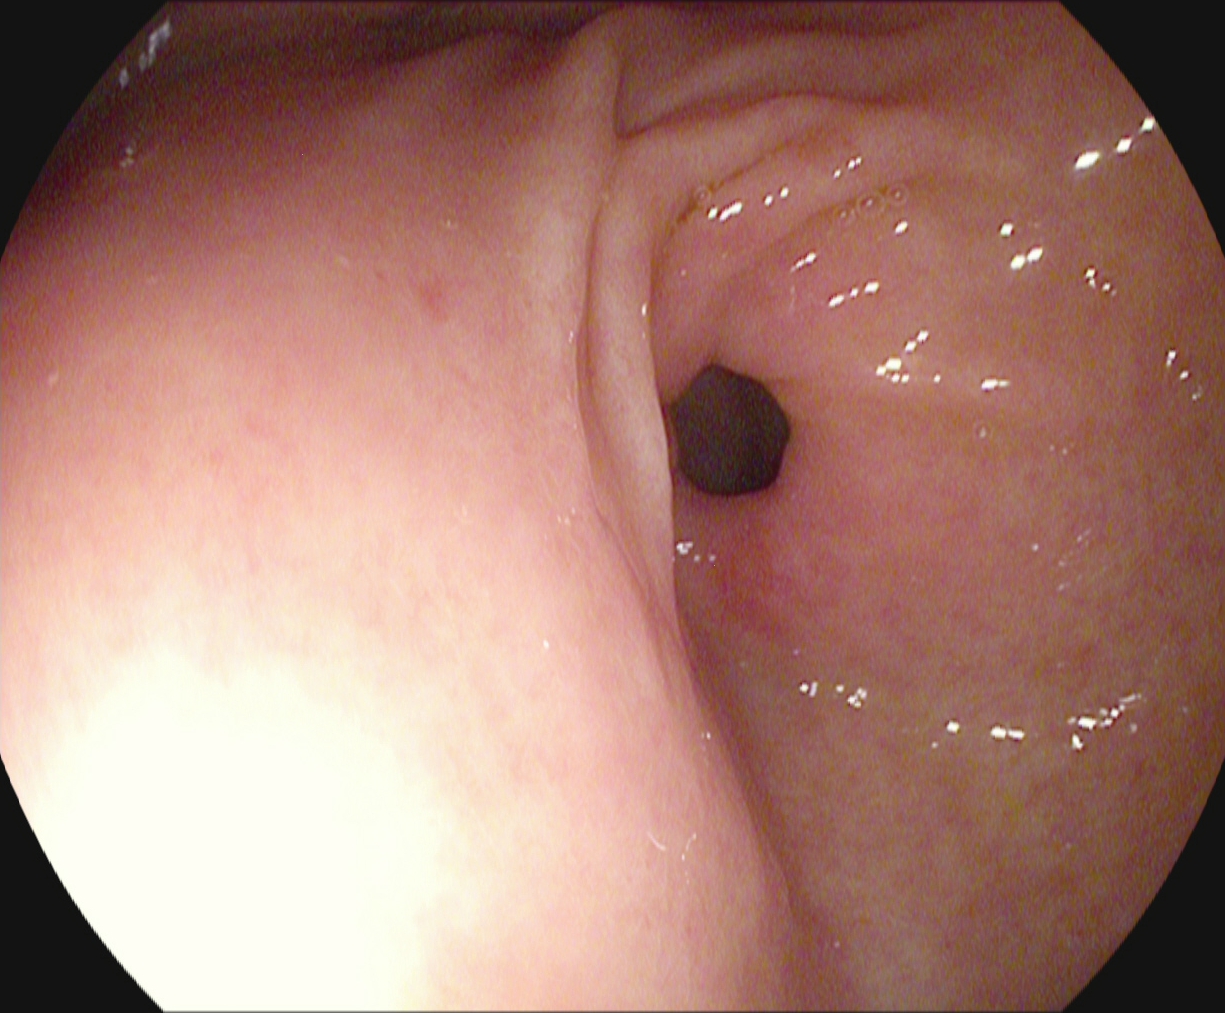pylorus.